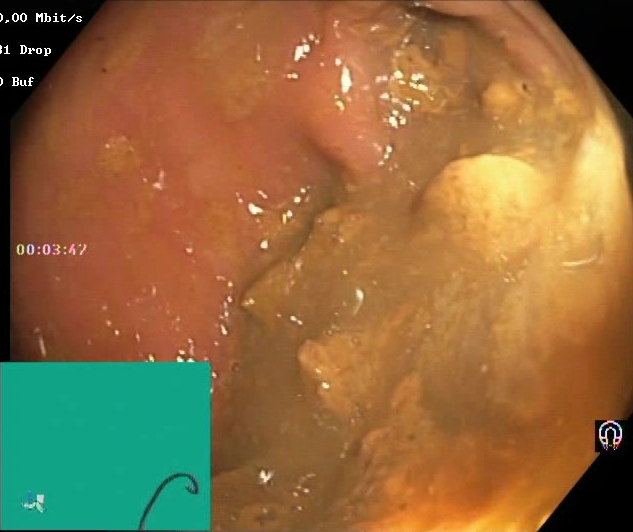Endoscopy image of the lower GI tract showing BBPS score 0–1 (inadequate preparation).